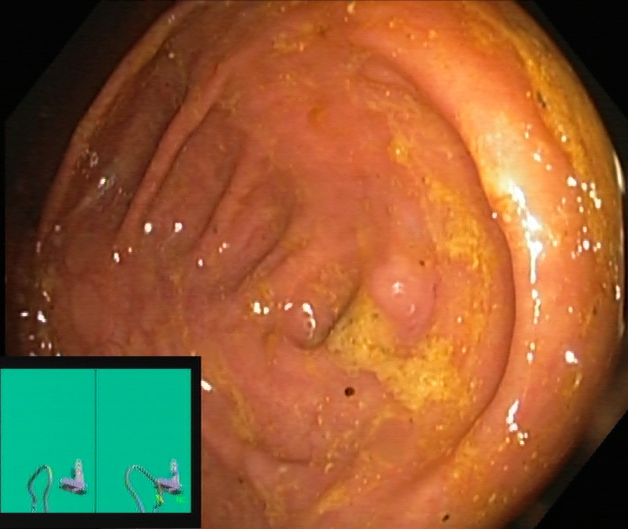Lower-GI endoscopy — cecum.